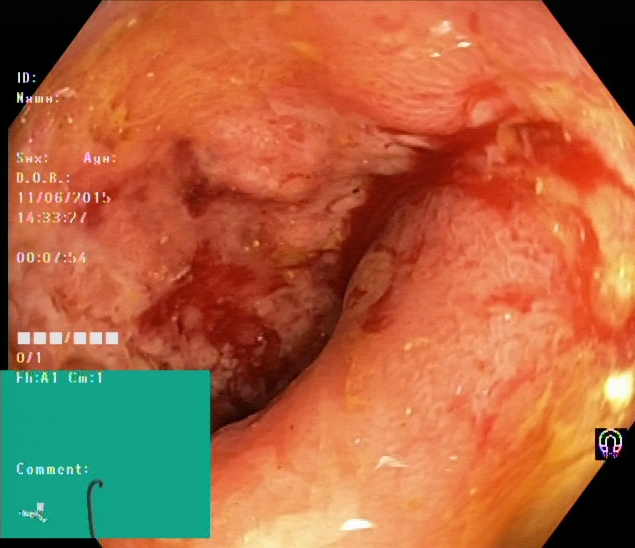Gastrointestinal endoscopy image showing ulcerative colitis, Mayo endoscopic subscore 3.